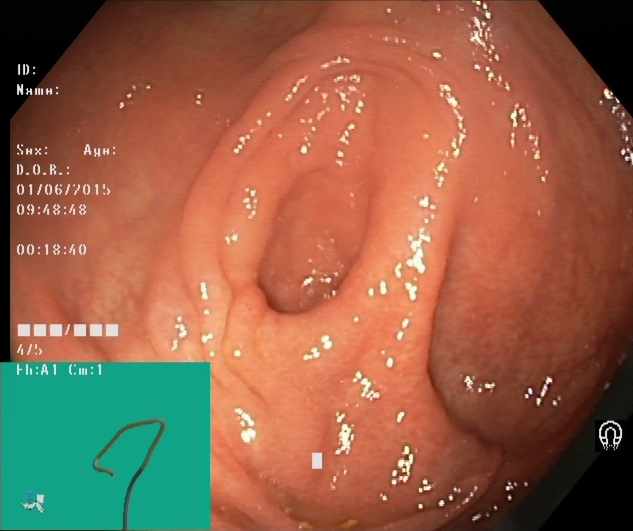Colonoscopy. Tract: lower GI tract. Finding: cecum.